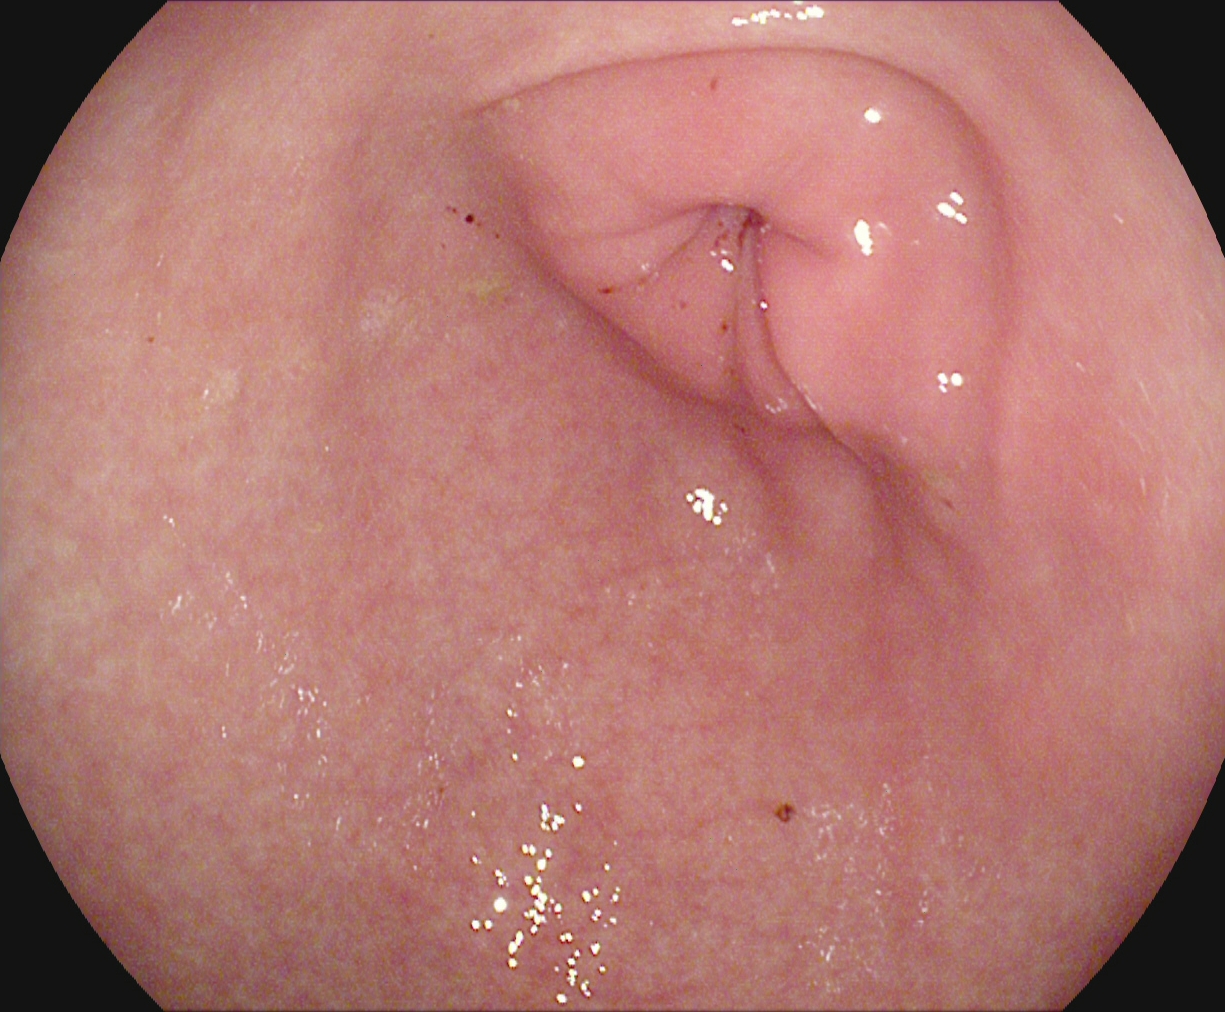Esophagogastroduodenoscopy. Tract: upper GI tract. Finding: pylorus.